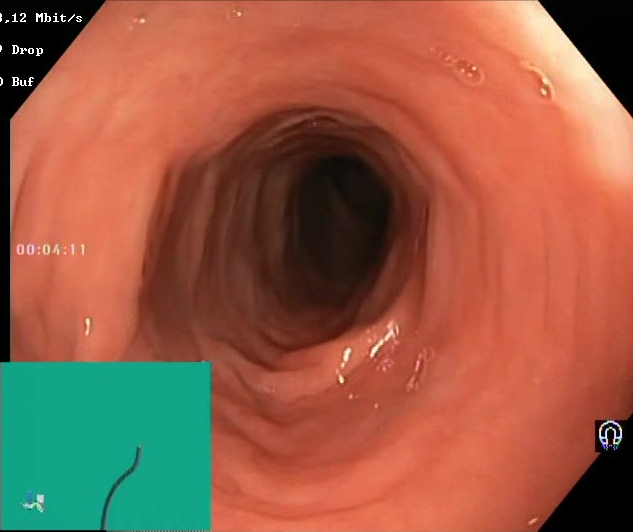Colonoscopy. Finding: BBPS score 2–3 (adequate preparation).